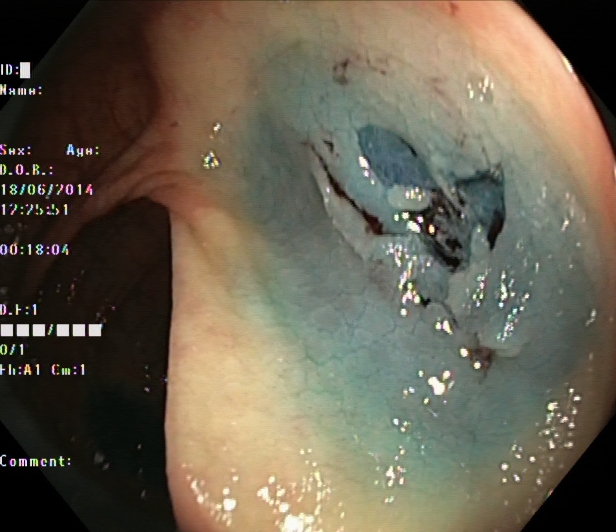PROCEDURE: Colonoscopy.
CATEGORY: Therapeutic intervention.
FINDINGS: Dyed resection margins (post-polypectomy).